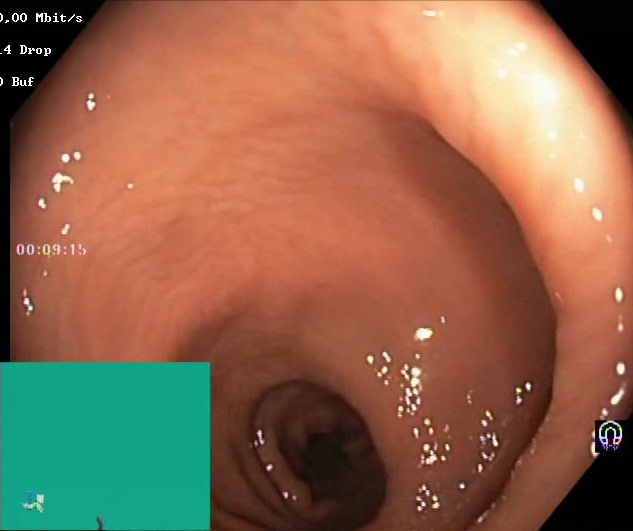GI endoscopy image of the lower GI tract showing Boston Bowel Preparation Scale score 2–3 (adequate preparation).